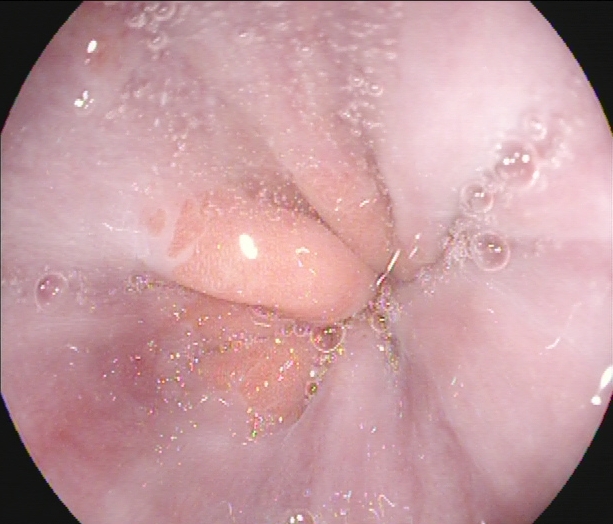Gastroscopy — Z-line (gastroesophageal junction).